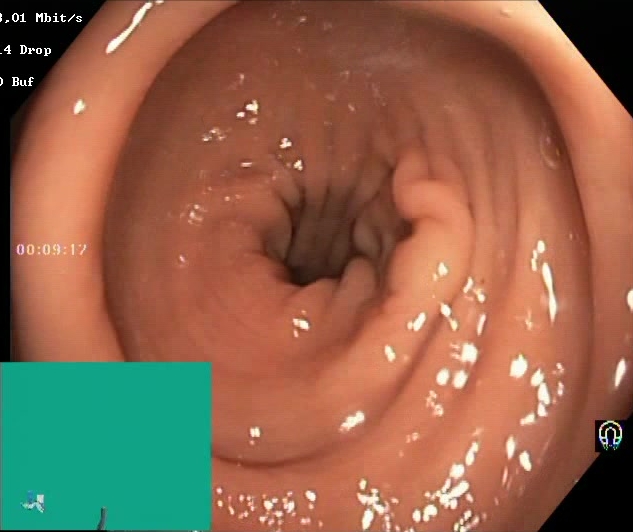Lower-GI endoscopy — Boston Bowel Preparation Scale score 2–3 (adequate preparation).